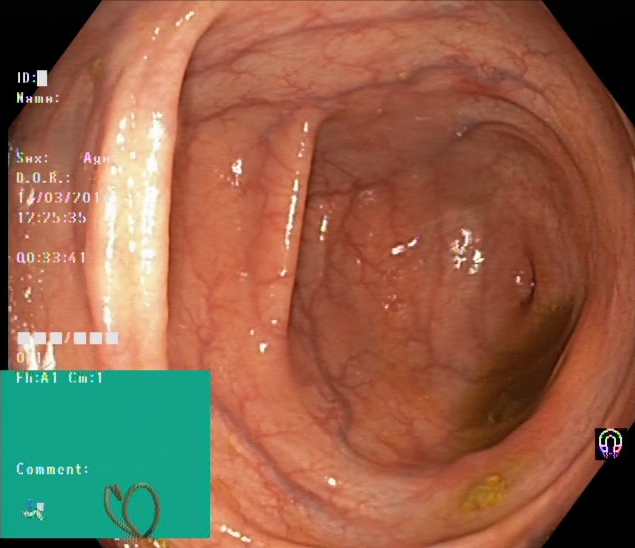Cecum.